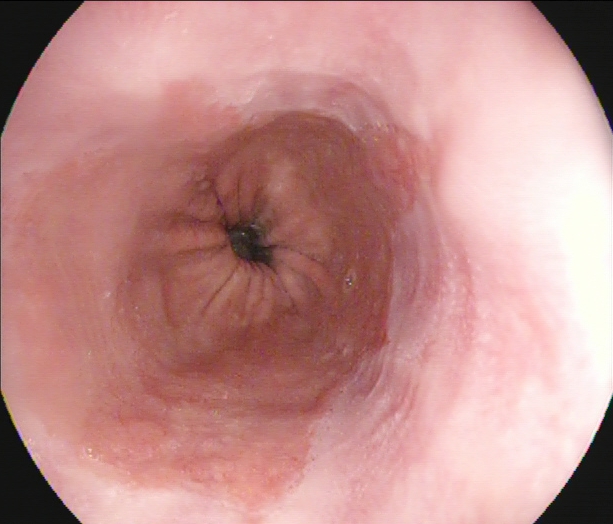{"modality": "upper-GI endoscopy", "finding": "Barrett's esophagus, short segment"}